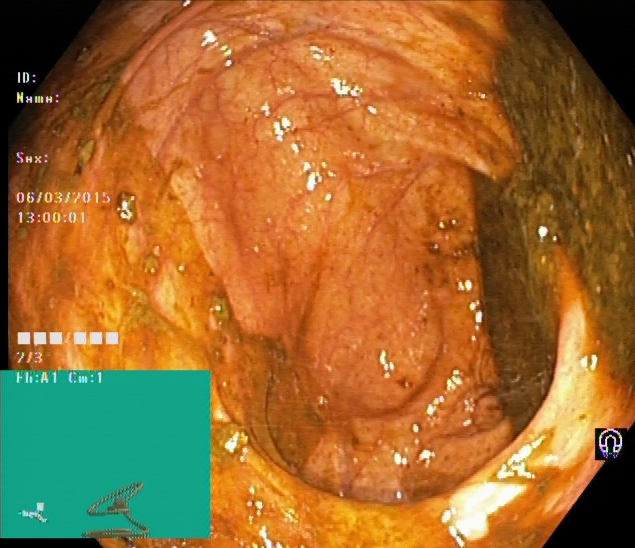This endoscopic image of the lower GI tract shows cecum.